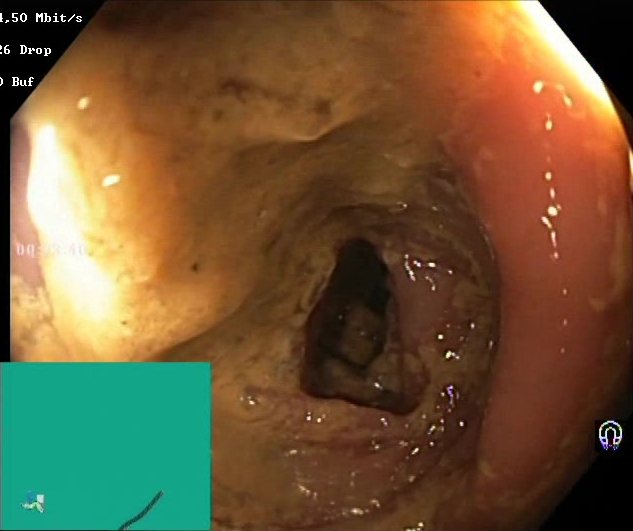PROCEDURE: Colonoscopy.
CATEGORY: Mucosal-view quality.
FINDINGS: BBPS score 0–1 (inadequate preparation).